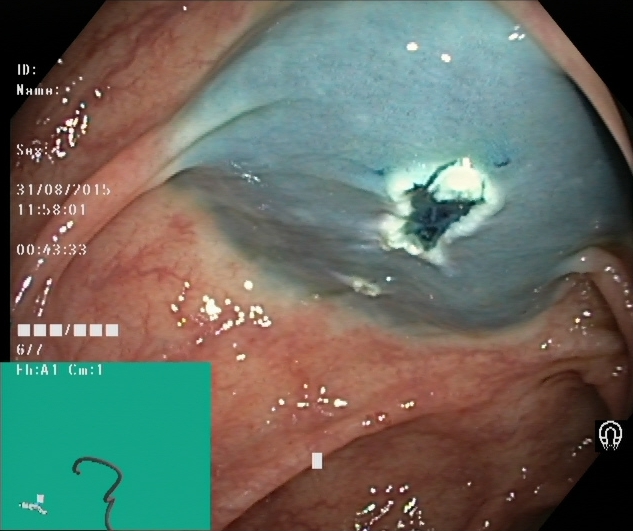This endoscopic image shows dyed resection margins (post-polypectomy).